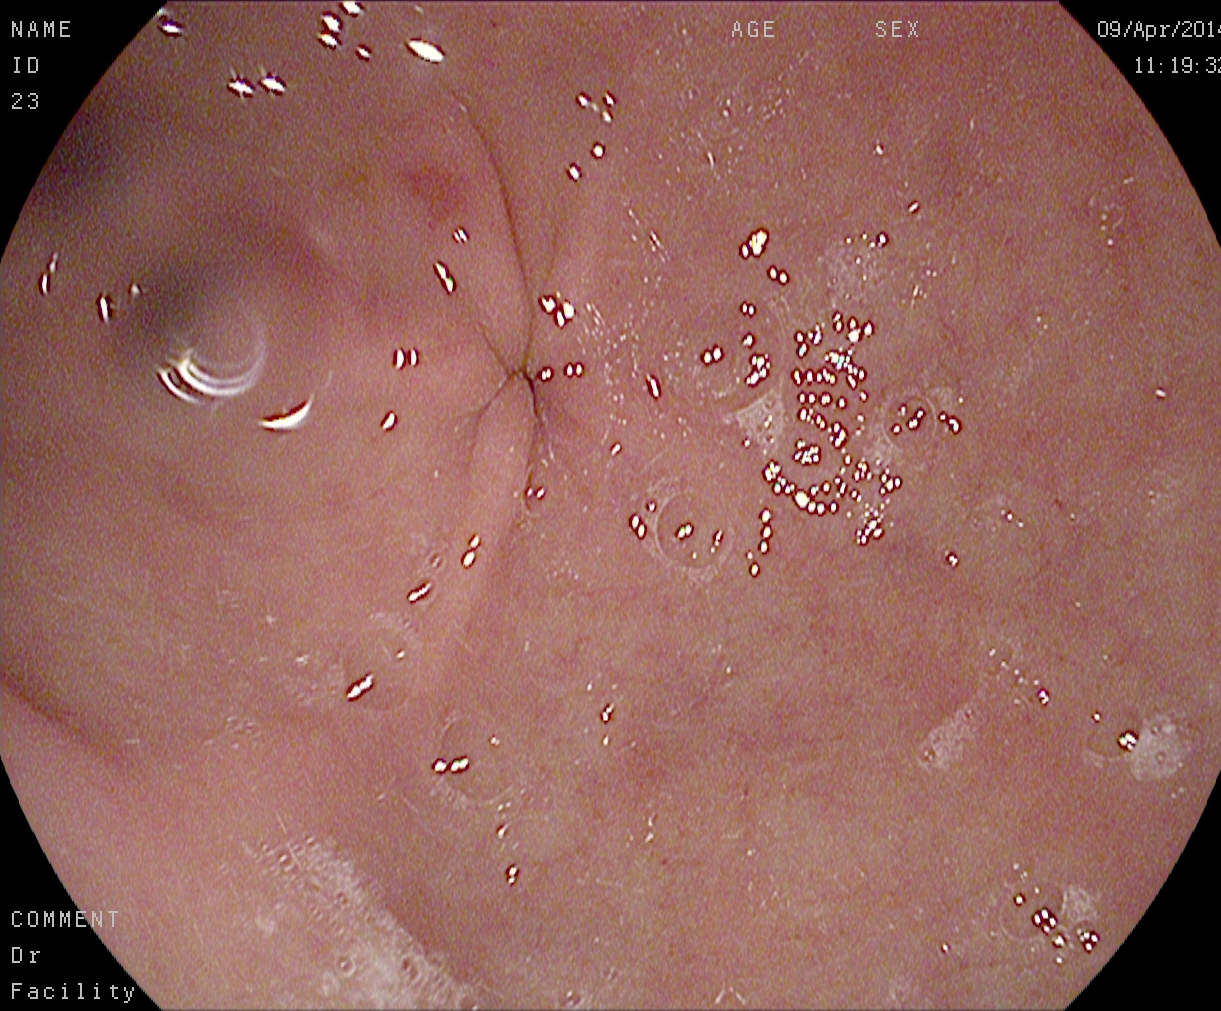Pylorus.